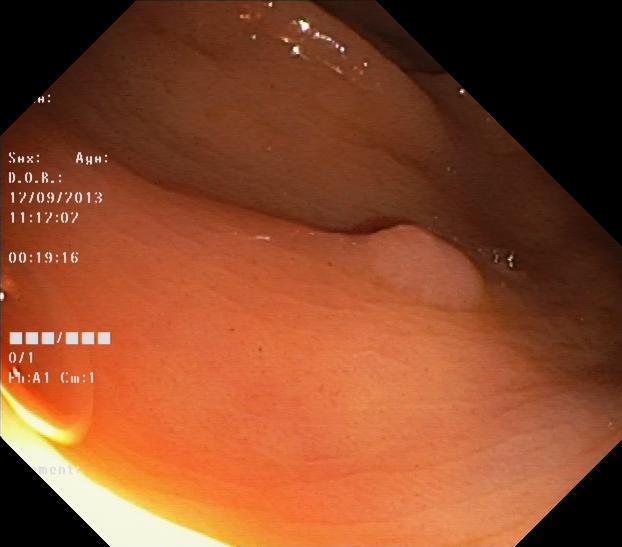{"modality": "colonoscopy", "finding": "colorectal polyp(s)"}